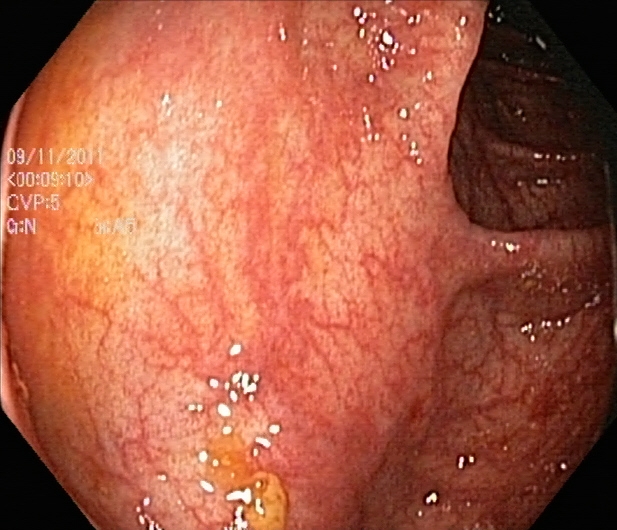modality: lower gastrointestinal endoscopy | finding: ulcerative colitis, Mayo endoscopic subscore 0–1